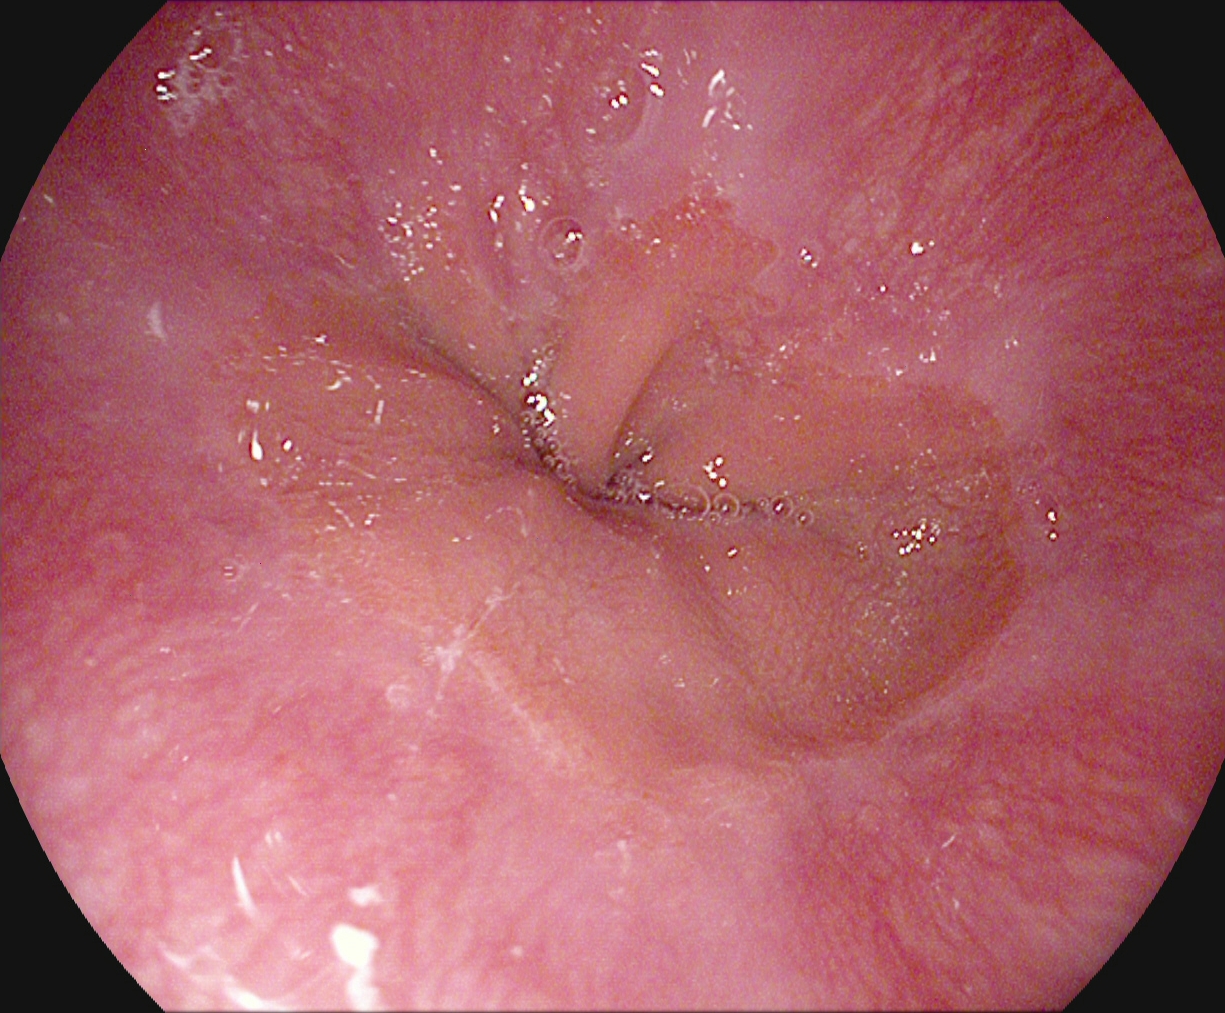This endoscopy frame shows Z-line (gastroesophageal junction).